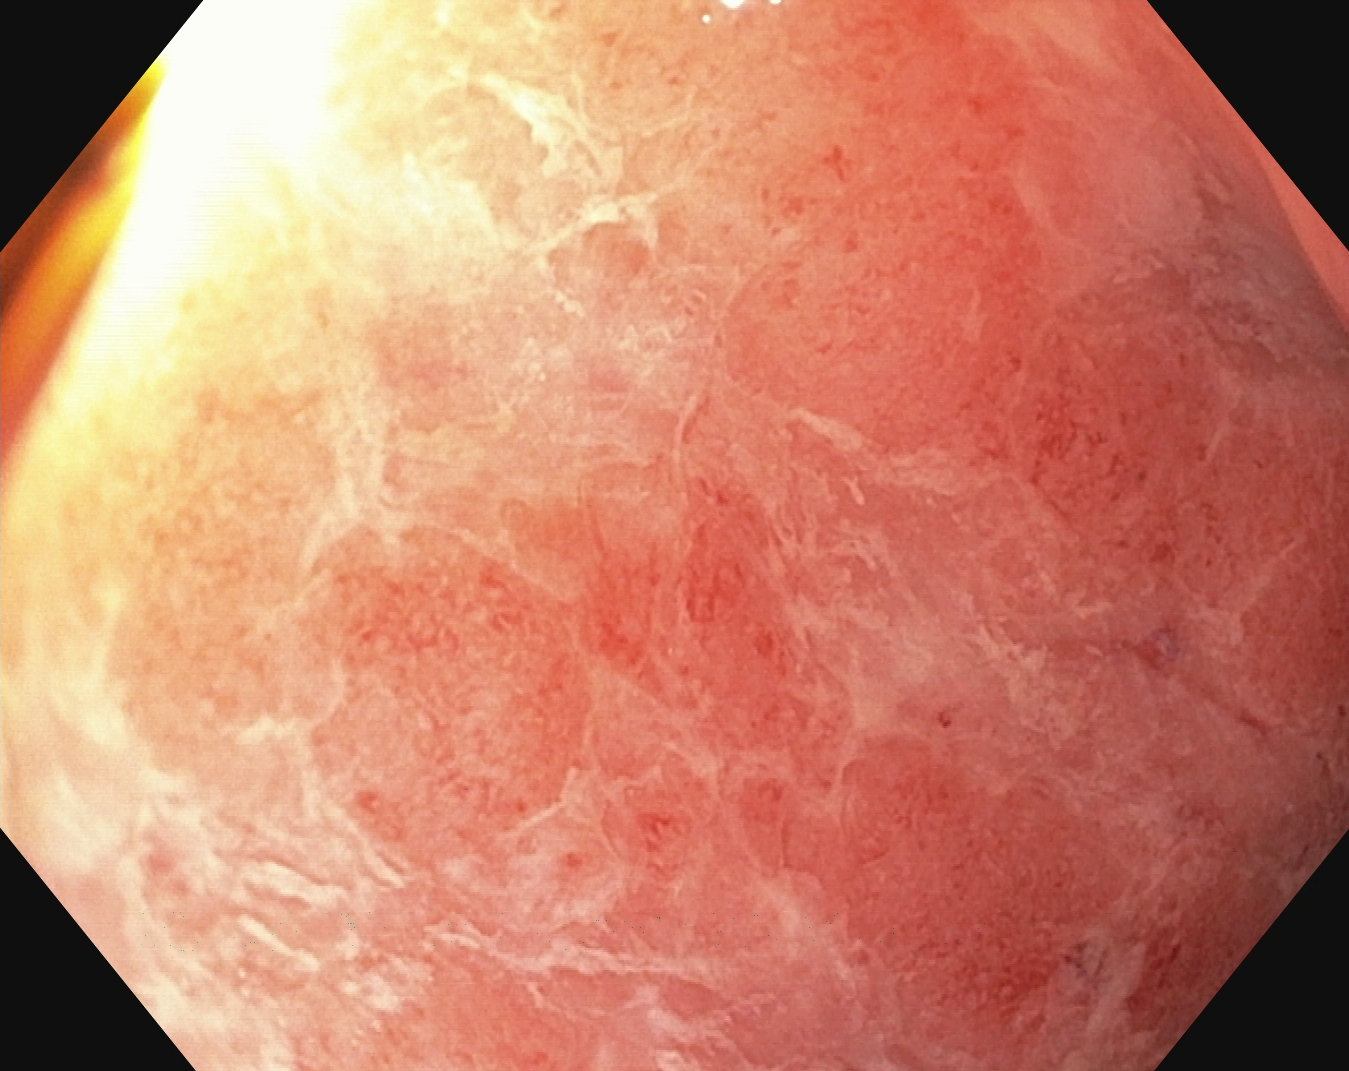Lower-GI endoscopy. Finding: UC, Mayo endoscopic subscore 2.